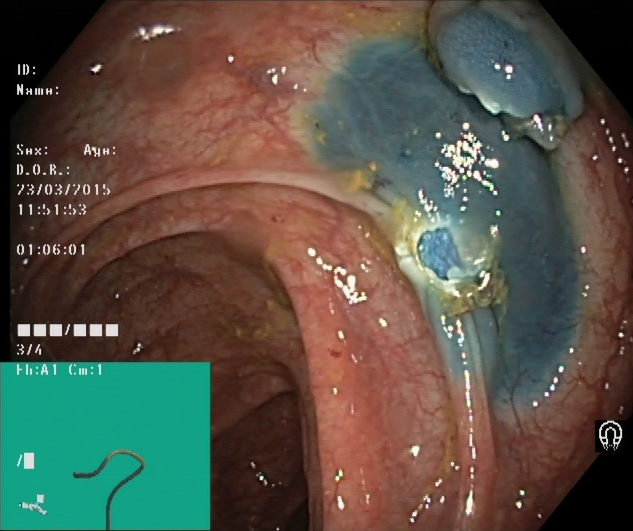This endoscopic image shows dyed resection margins (post-polypectomy).